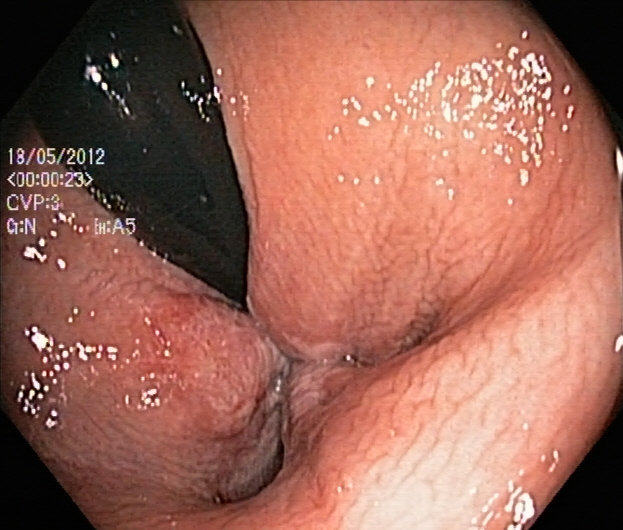modality: lower-GI endoscopy | finding: rectum in retroflexion